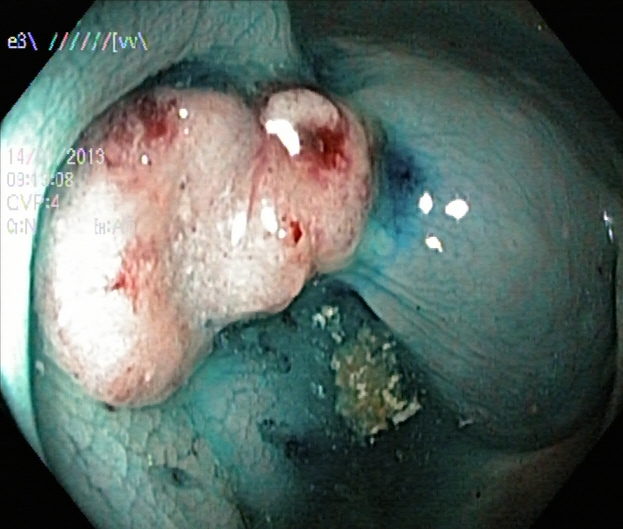Dyed and lifted polyp (pre-resection).